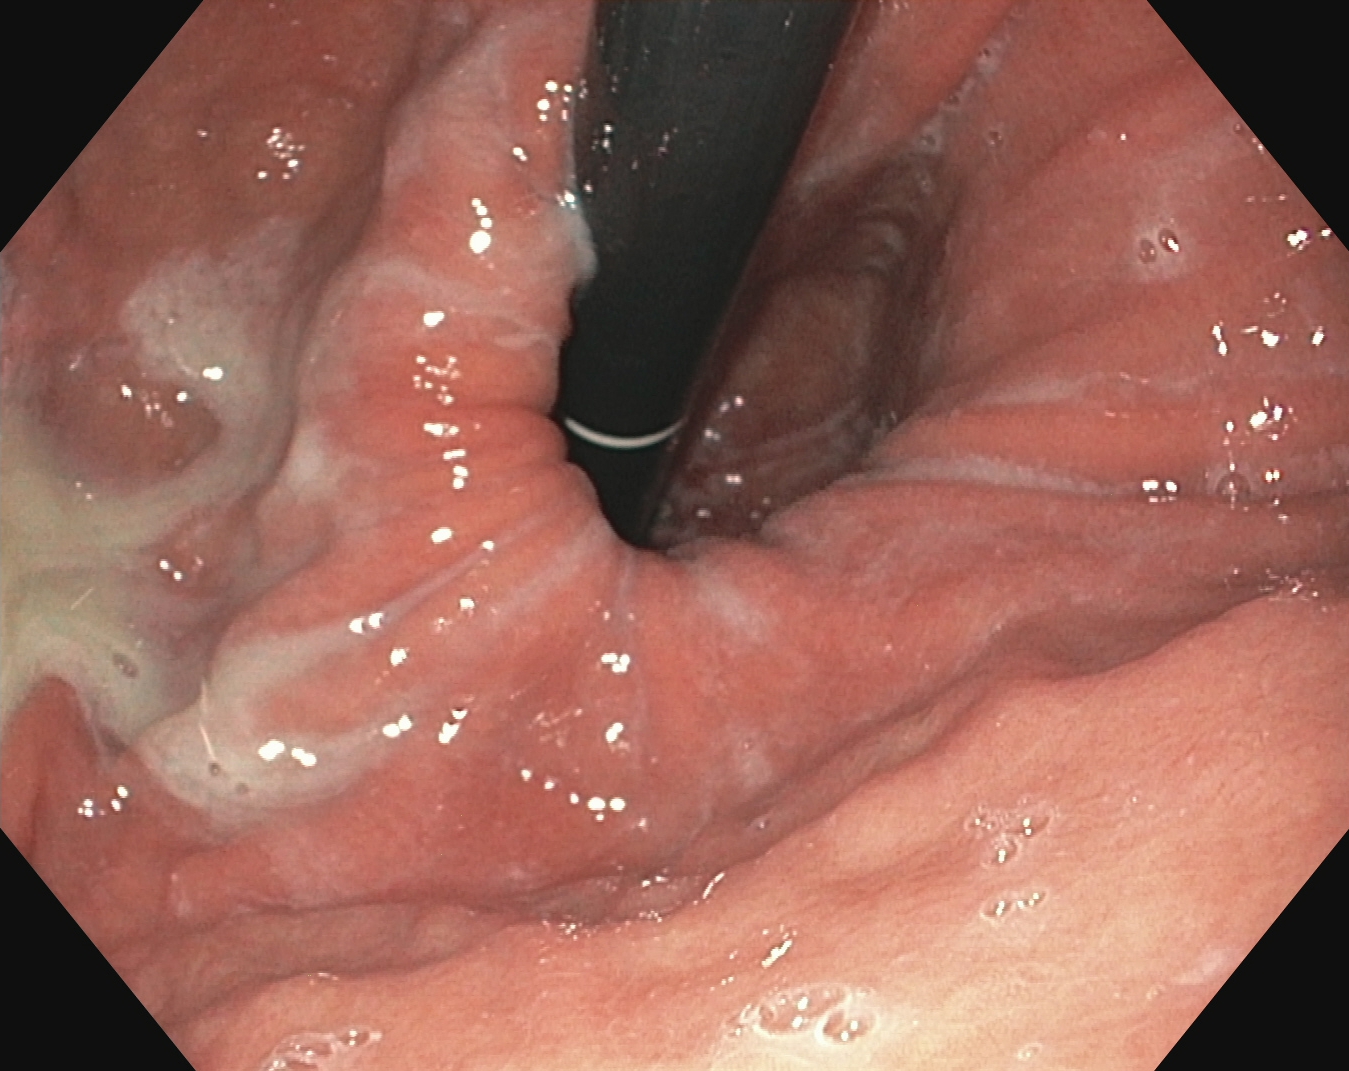PROCEDURE: Upper-GI endoscopy.
FINDINGS: Stomach in retroflexion.